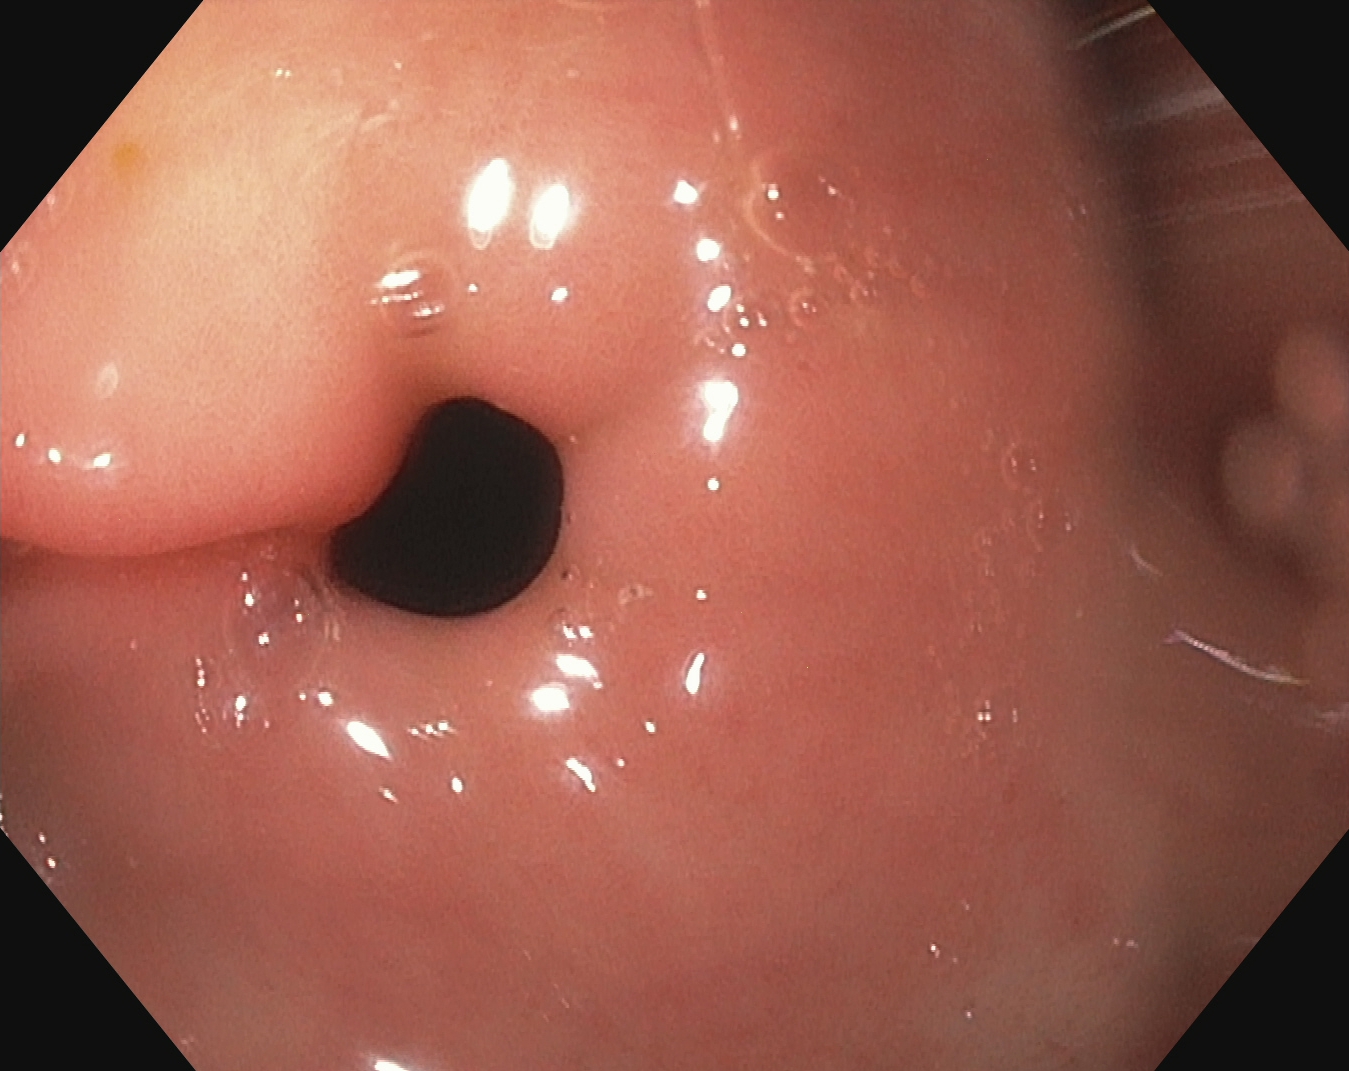modality: EGD | tract: upper GI tract | finding: pylorus